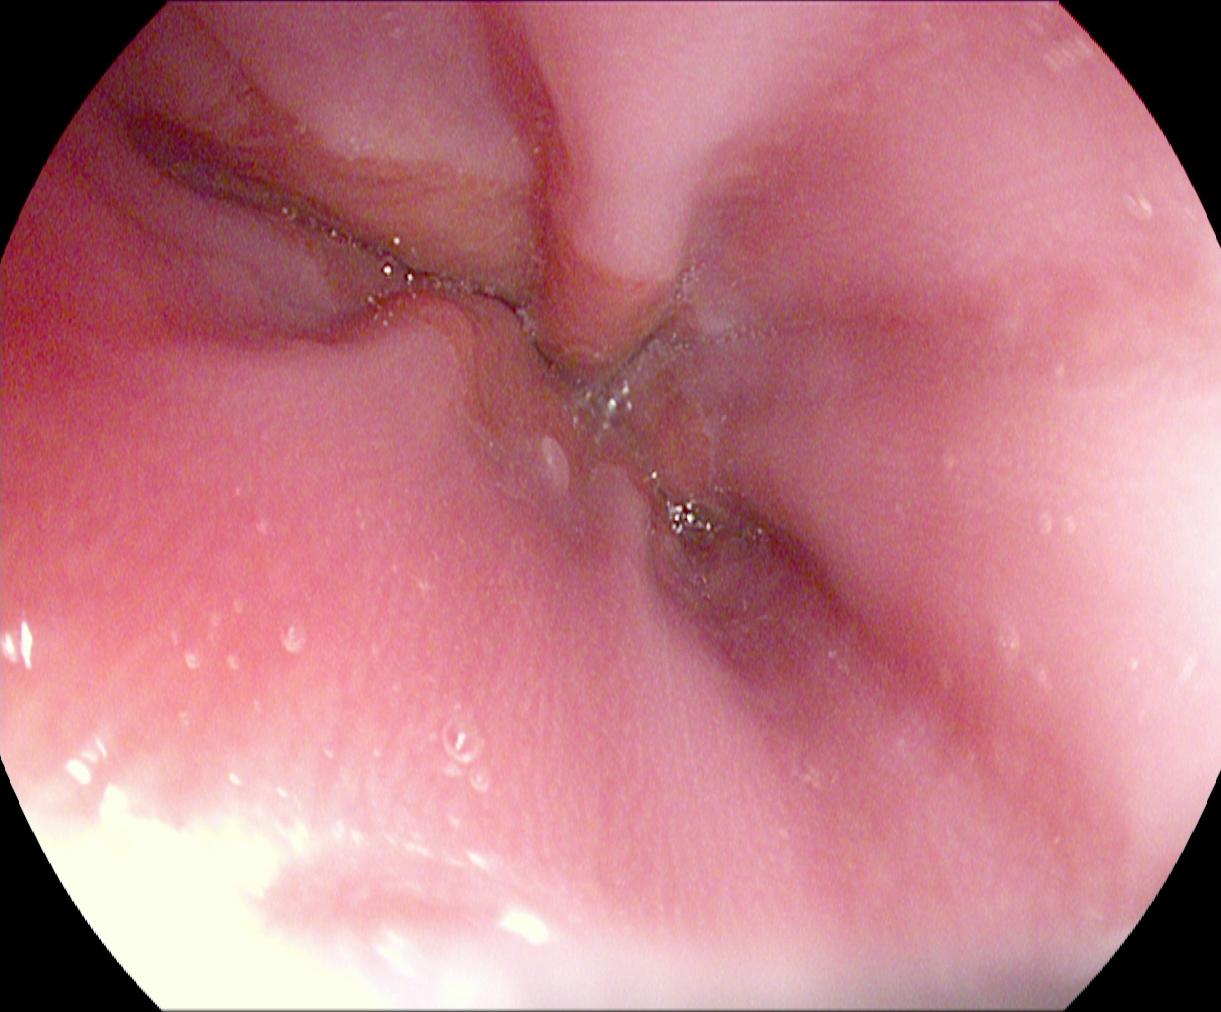Endoscopy image showing Z-line (gastroesophageal junction).